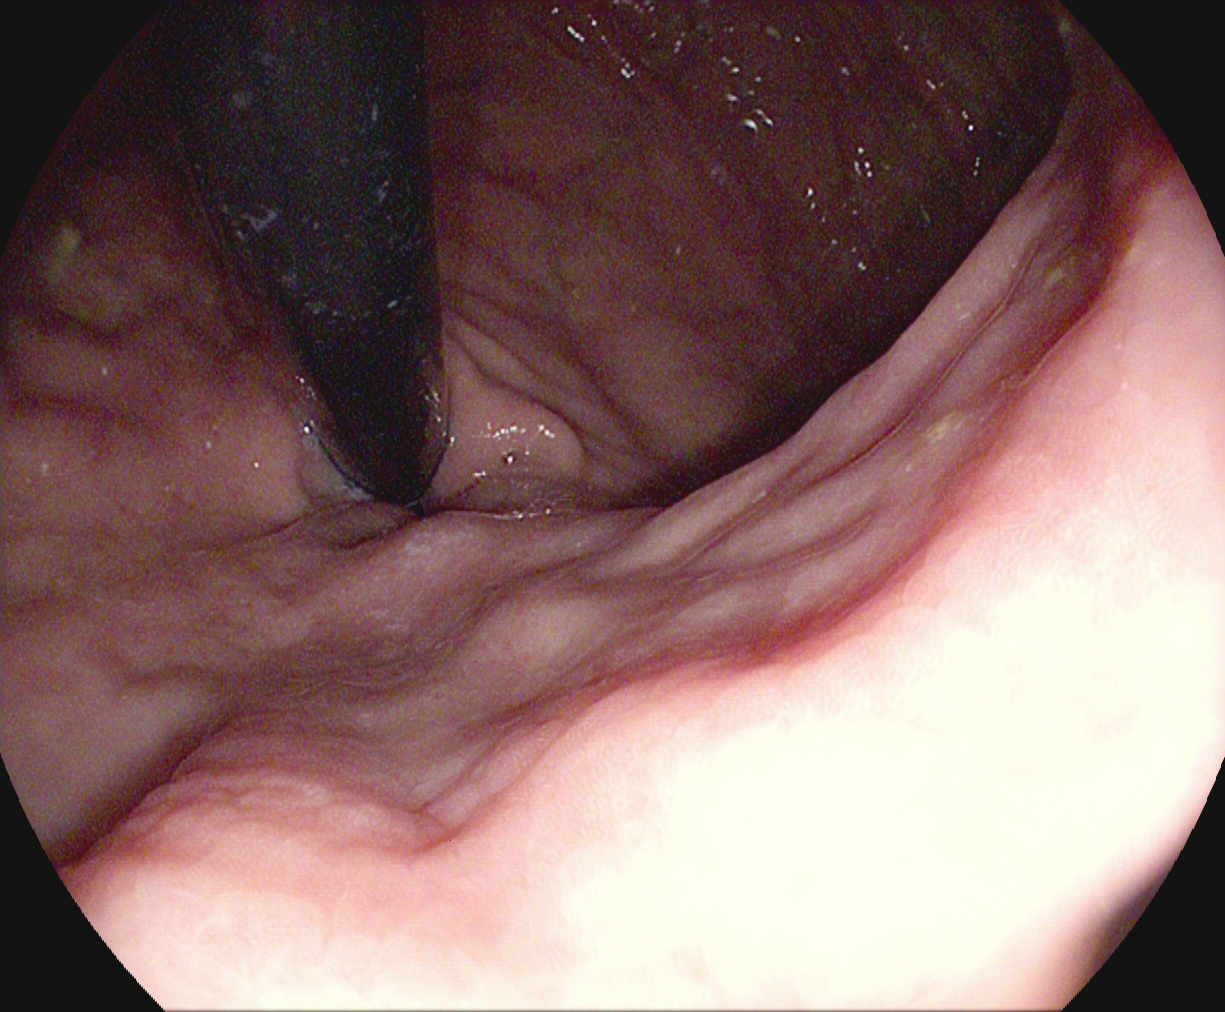This endoscopy frame shows stomach in retroflexion.